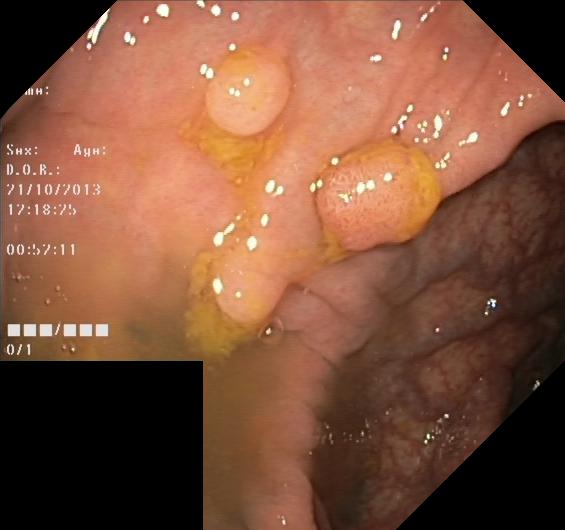Lower gastrointestinal endoscopy — colorectal polyp(s).